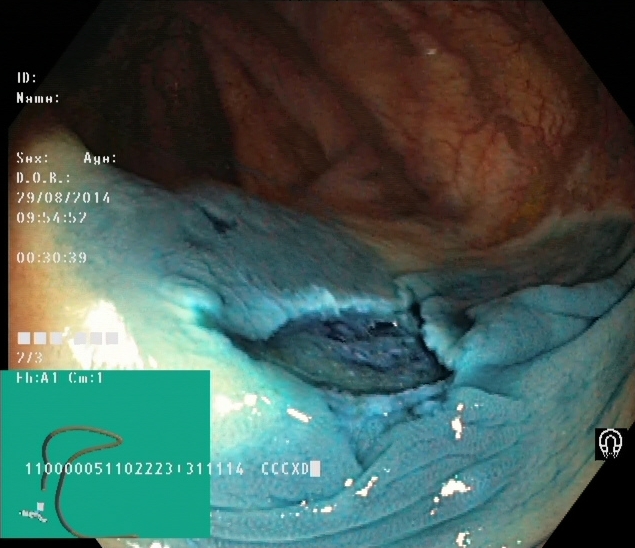Lower-GI endoscopy image of the lower GI tract showing dyed resection margins (post-polypectomy).